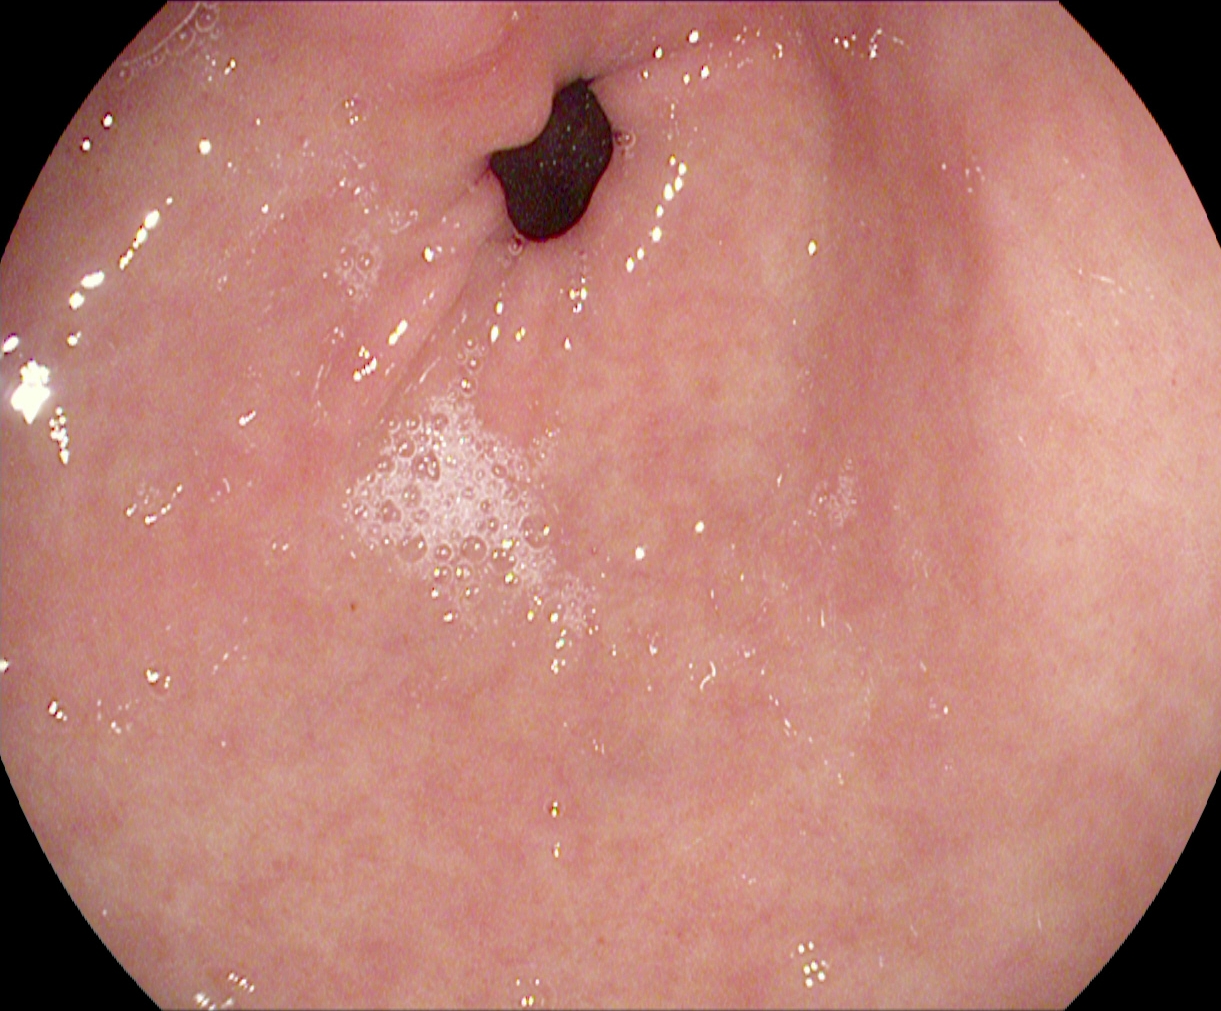This endoscopy frame of the upper GI tract shows pylorus.